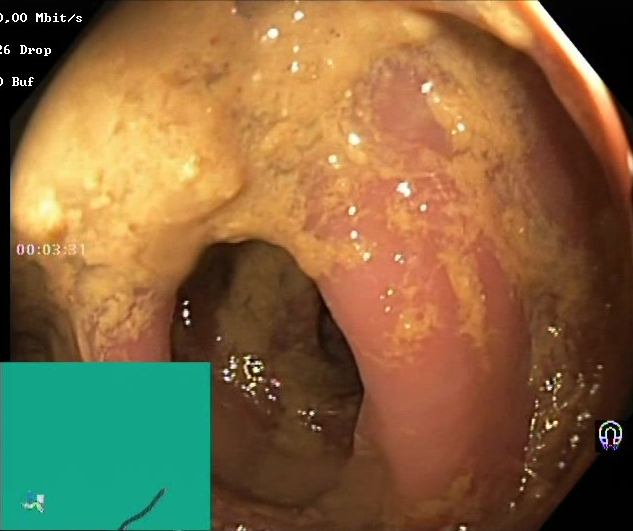{"modality": "lower gastrointestinal endoscopy", "tract": "lower GI tract", "finding": "BBPS score 0\u20131 (inadequate preparation)"}